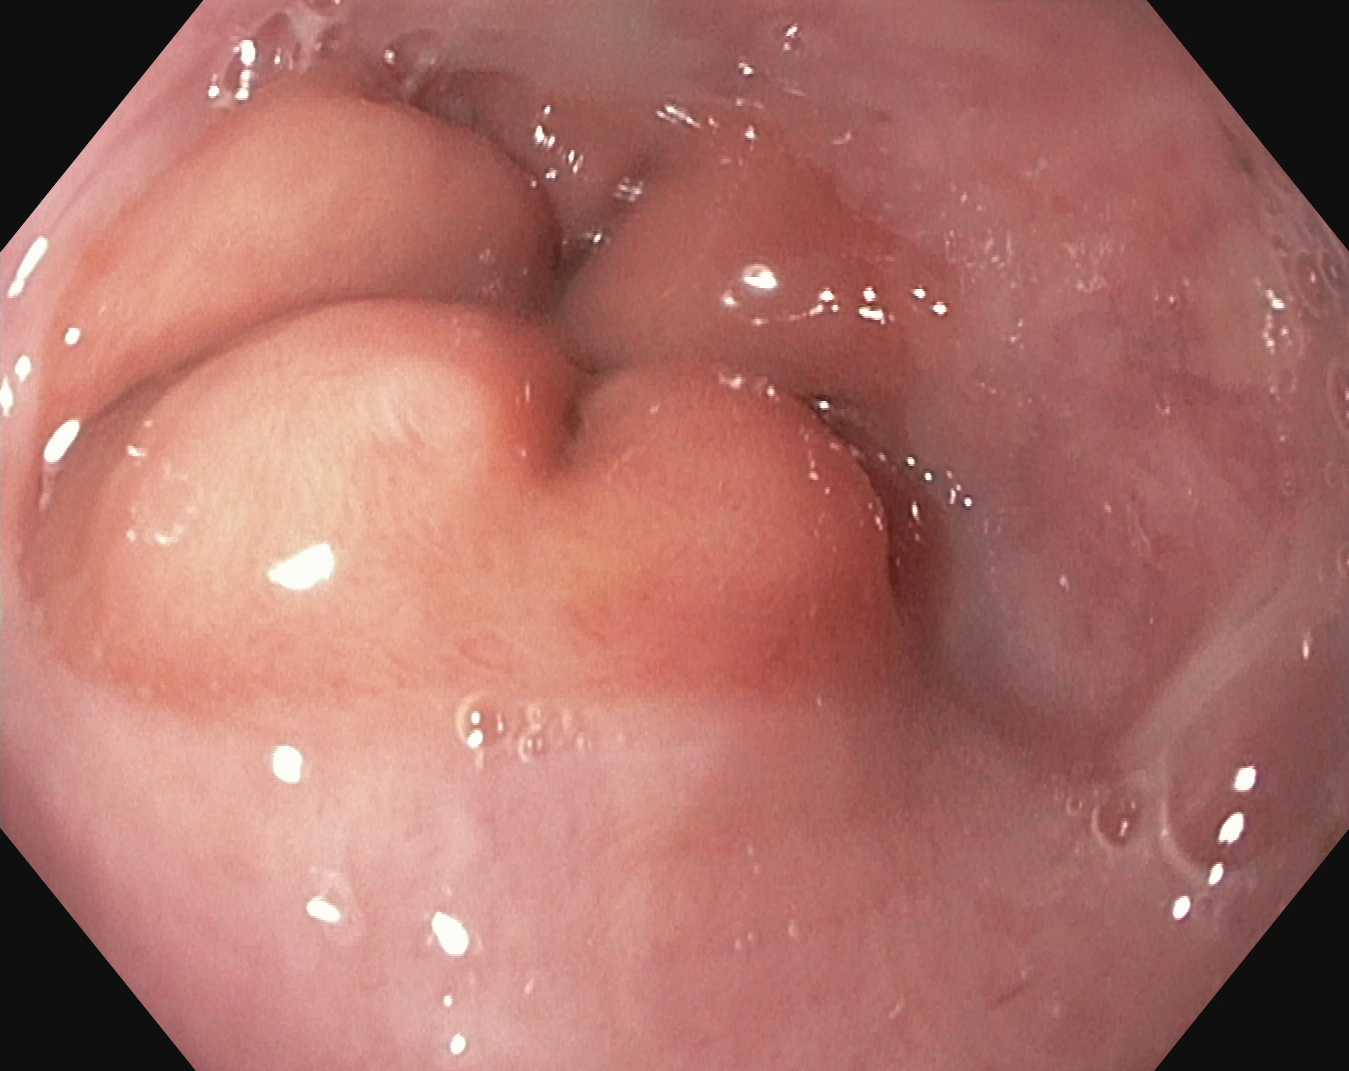modality: EGD; category: anatomical landmark; finding: Z-line (gastroesophageal junction)